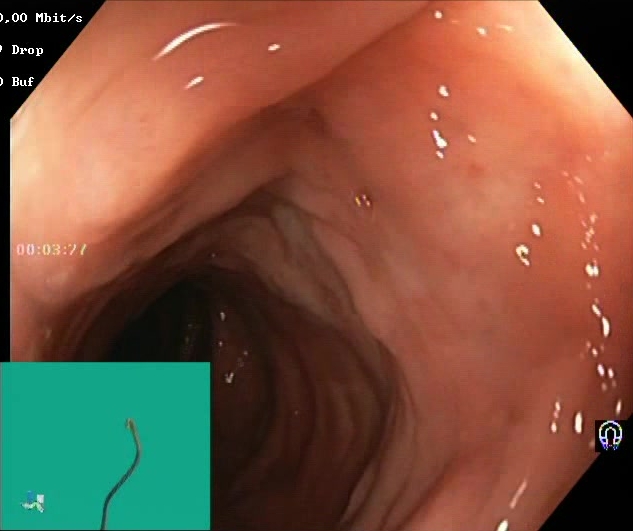BBPS score 2–3 (adequate preparation).